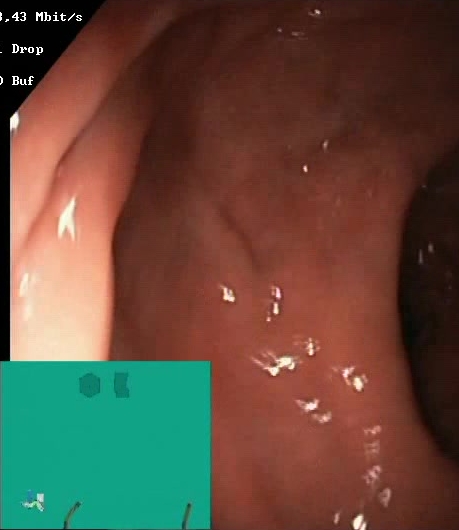Colonoscopy image showing Boston Bowel Preparation Scale score 2–3 (adequate preparation).